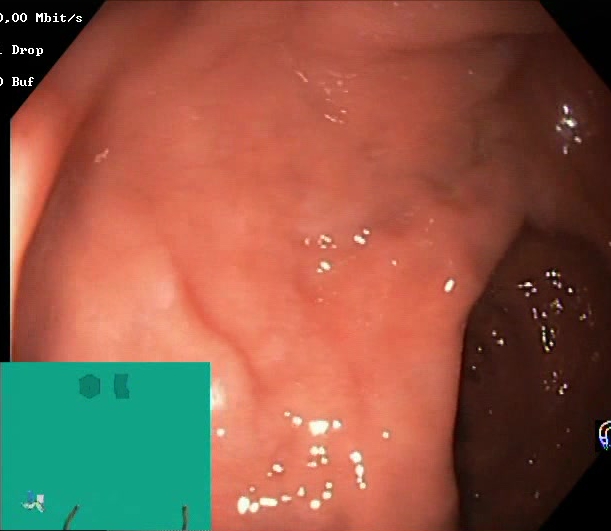Endoscopic image of the lower GI tract showing BBPS score 2–3 (adequate preparation).